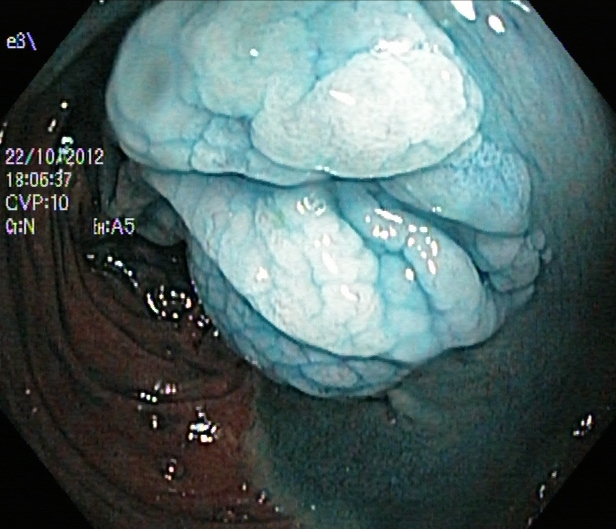GI endoscopy image showing dyed and lifted polyp (pre-resection).